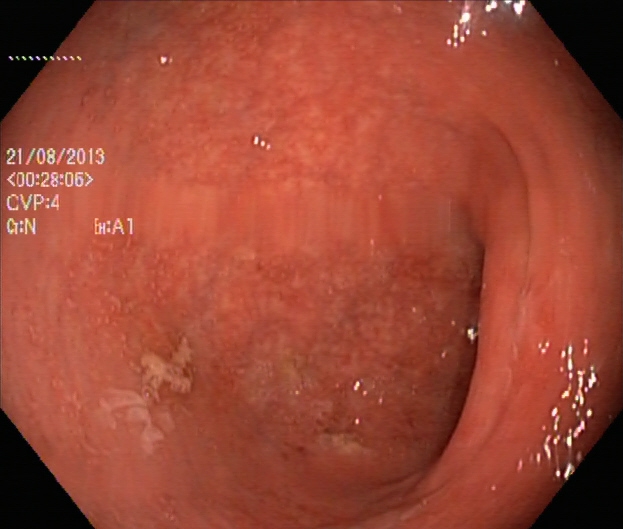Lower gastrointestinal endoscopy — ulcerative colitis, Mayo endoscopic subscore 1.